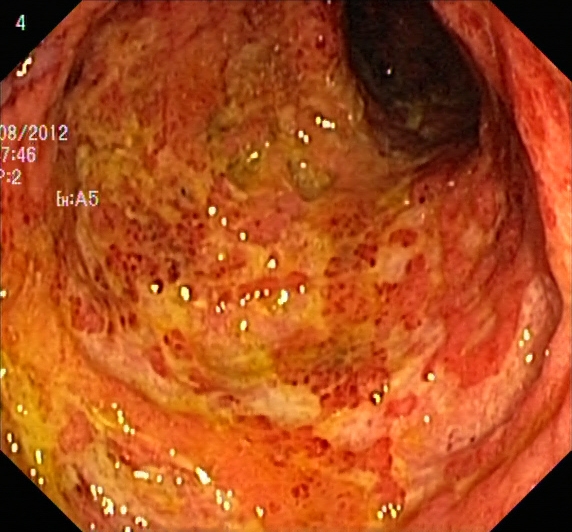{"modality": "colonoscopy", "tract": "lower GI tract", "finding": "ulcerative colitis, Mayo endoscopic subscore 3"}